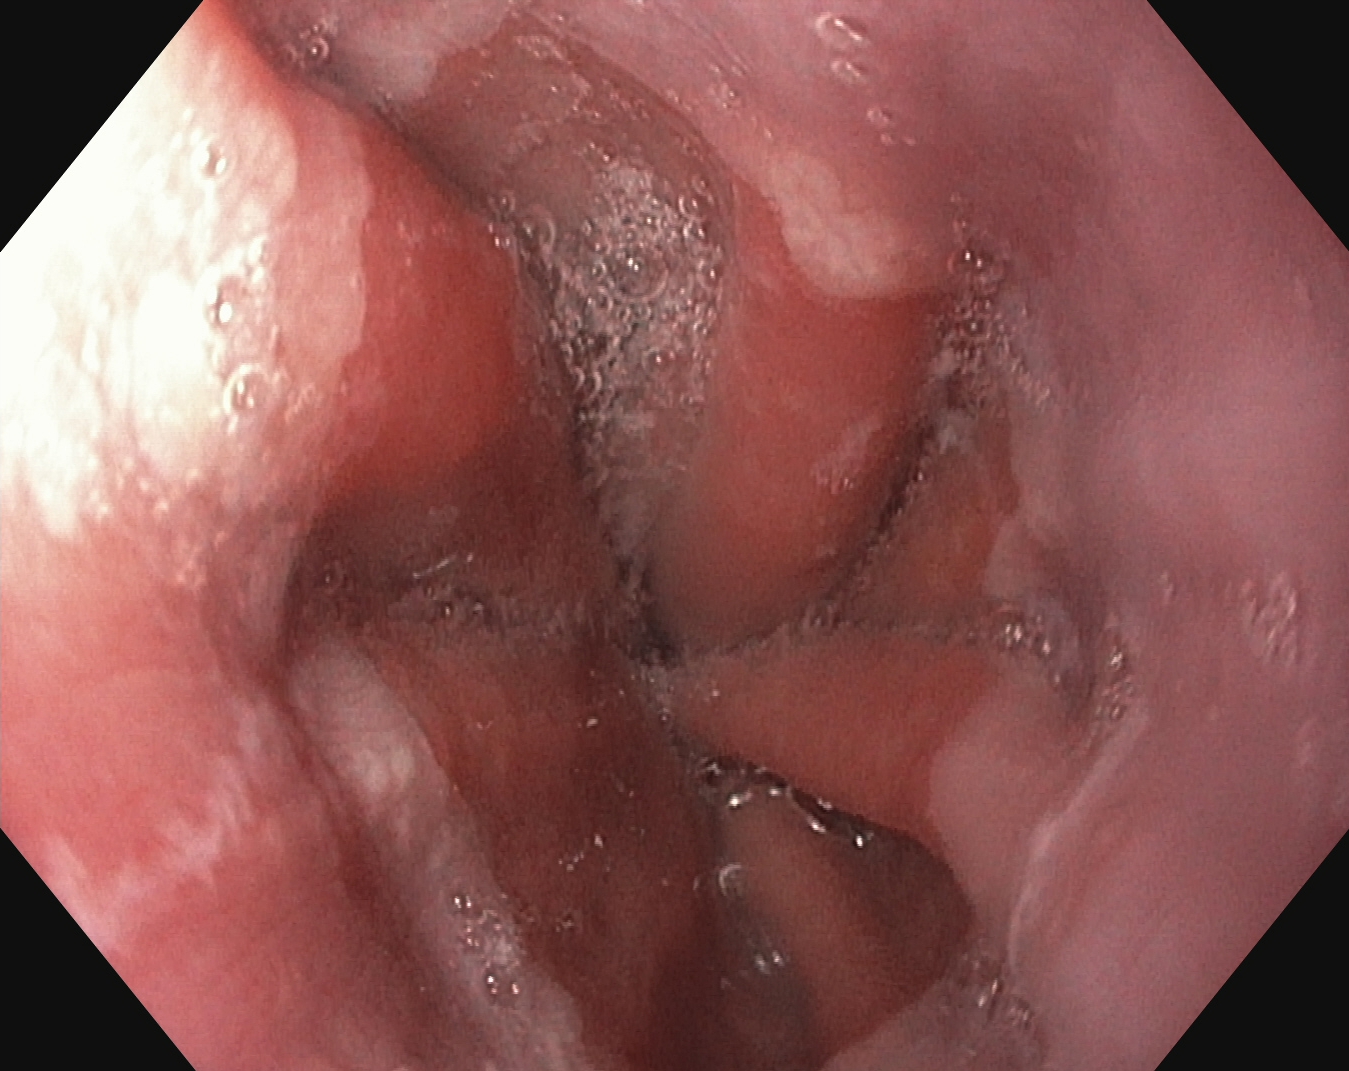{"modality": "gastroscopy", "tract": "upper GI tract", "finding": "Z-line (gastroesophageal junction)"}